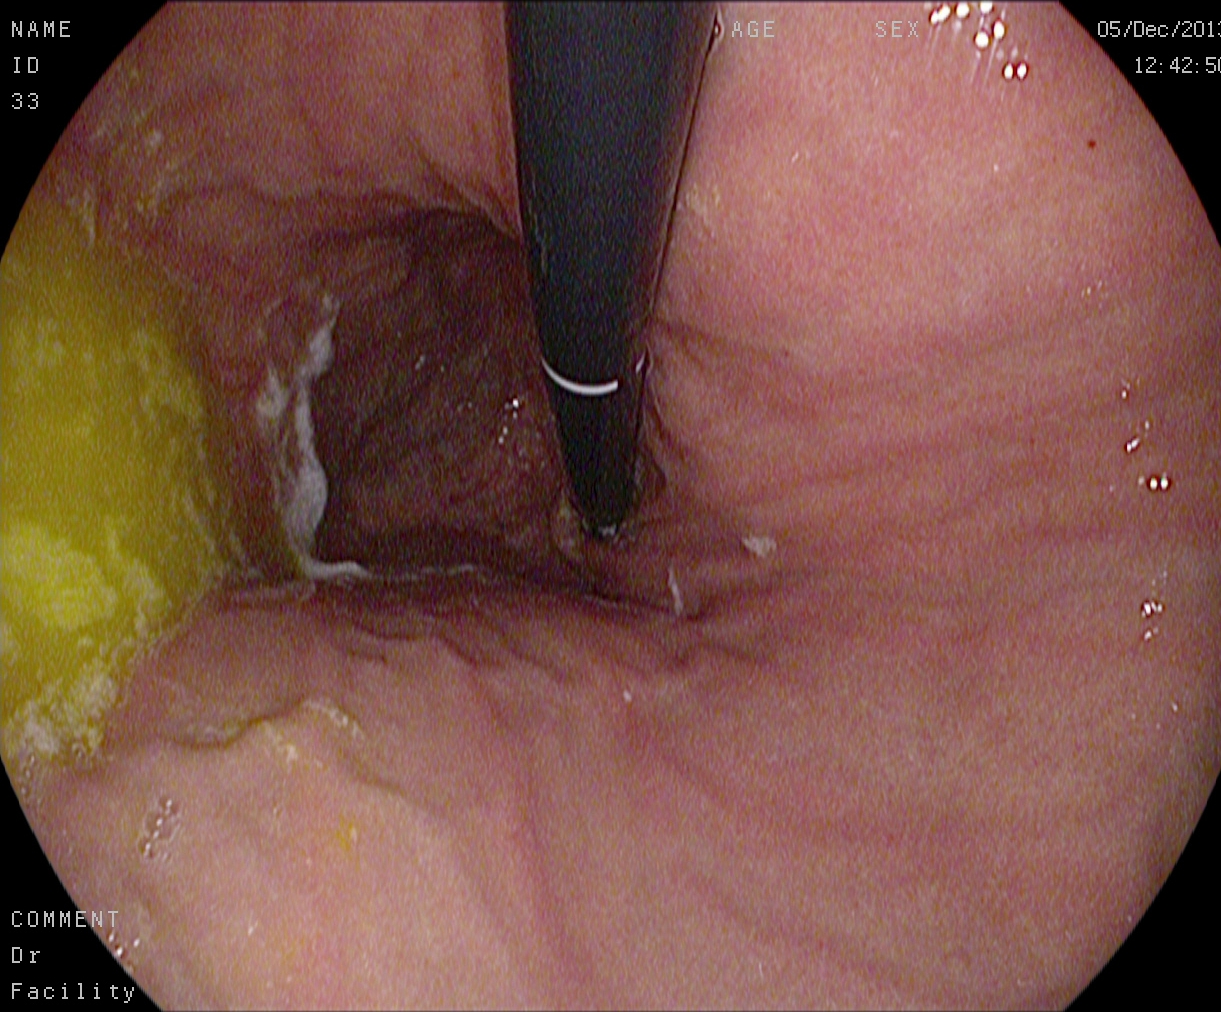EGD image showing stomach in retroflexion.